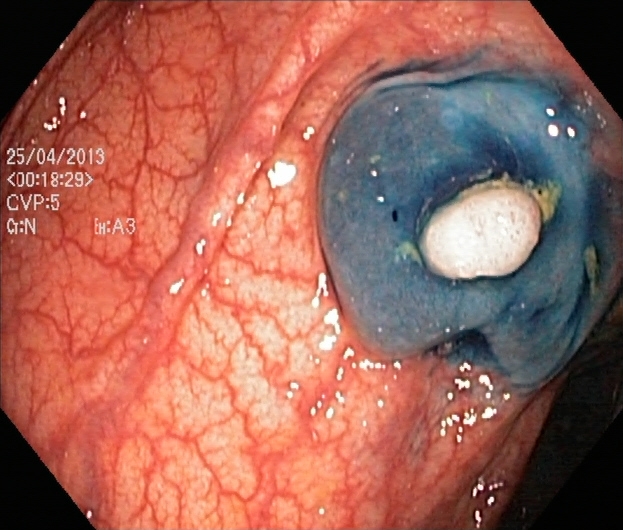Lower gastrointestinal endoscopy image showing dyed and lifted polyp (pre-resection).